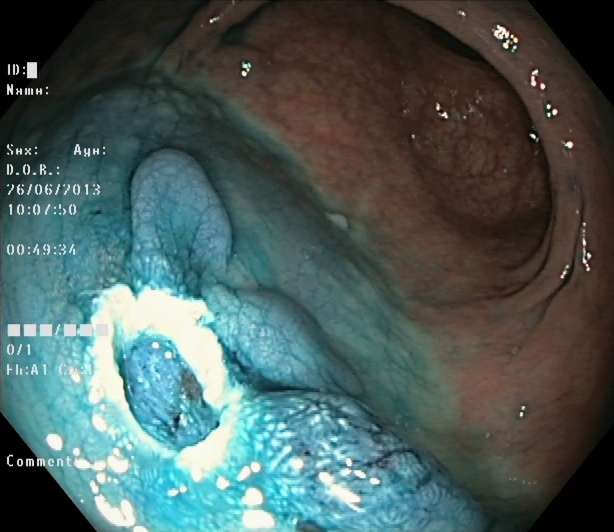Dyed resection margins (post-polypectomy).